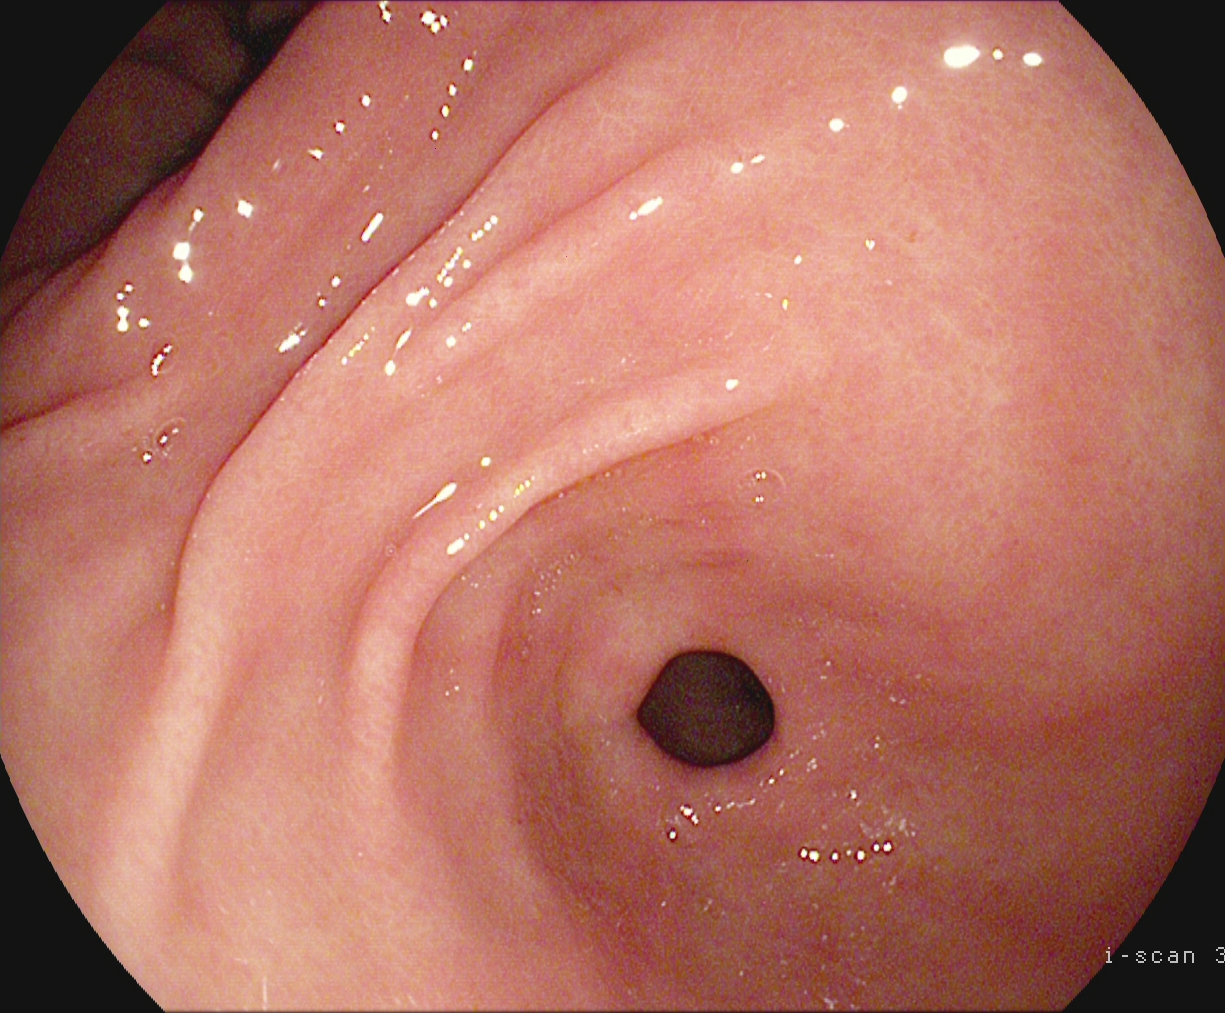This endoscopy frame of the upper GI tract shows pylorus.